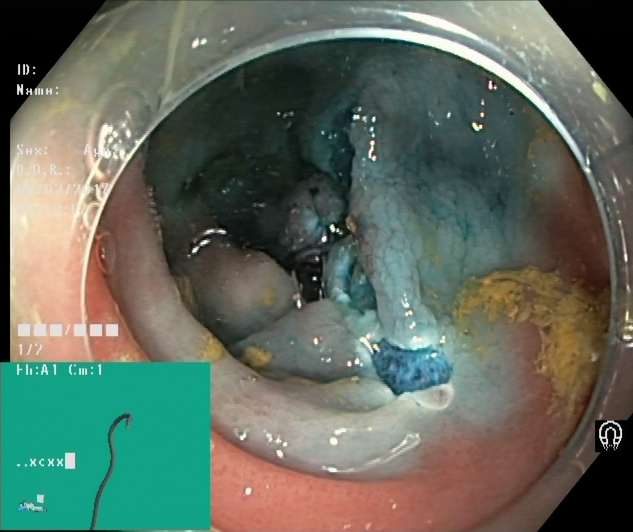Endoscopy image of the lower GI tract showing dyed resection margins (post-polypectomy).